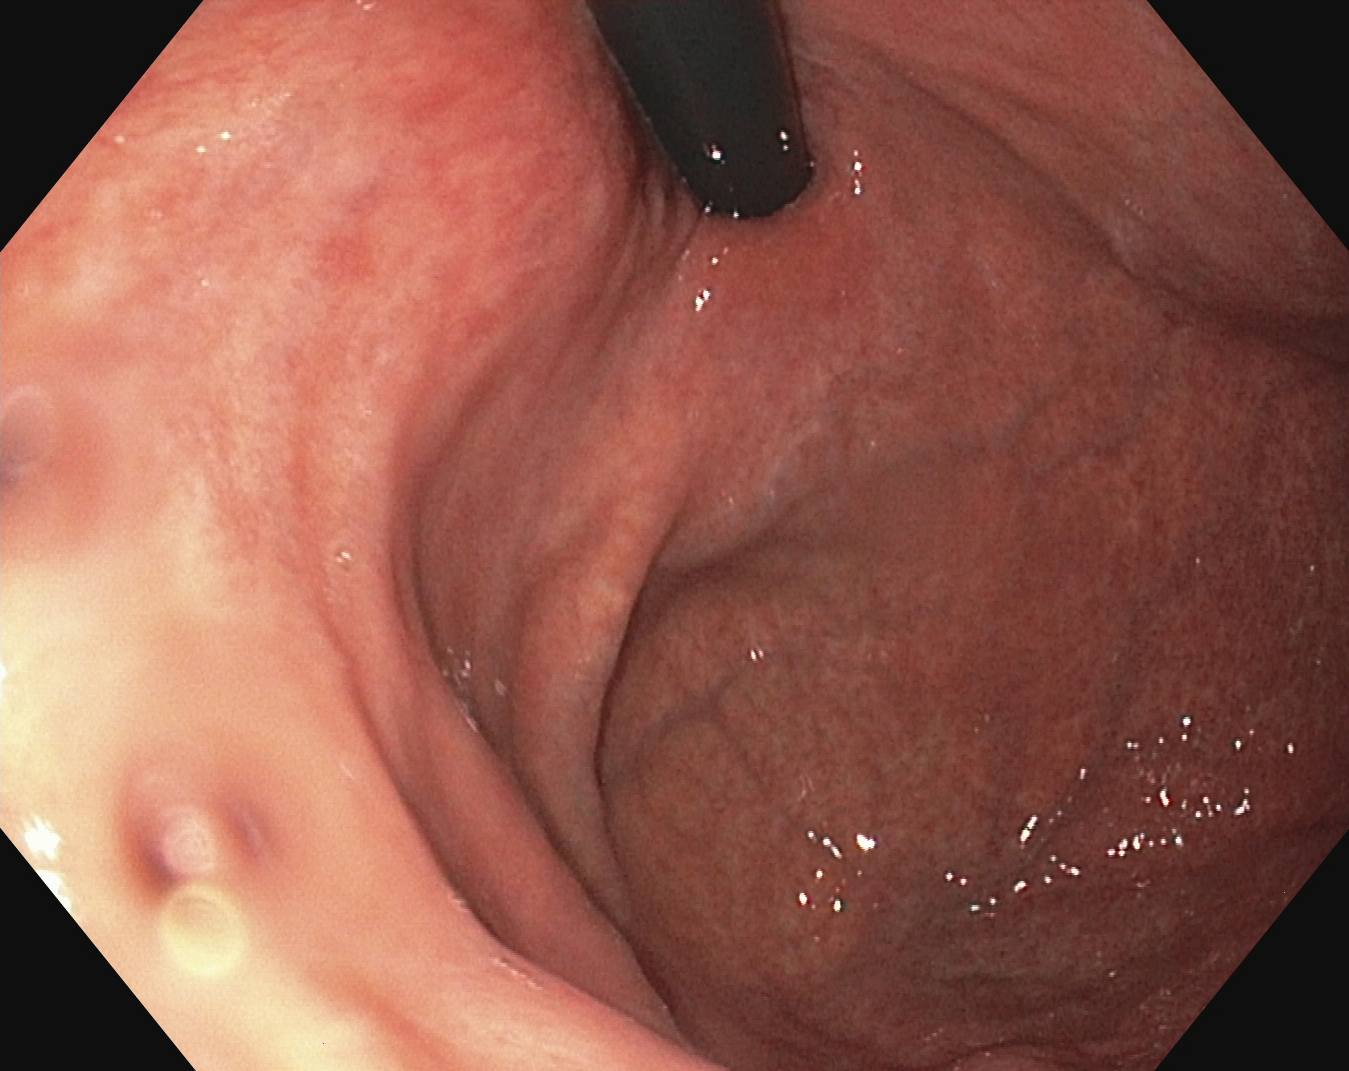modality: EGD; tract: upper GI tract; category: anatomical landmark; finding: stomach in retroflexion